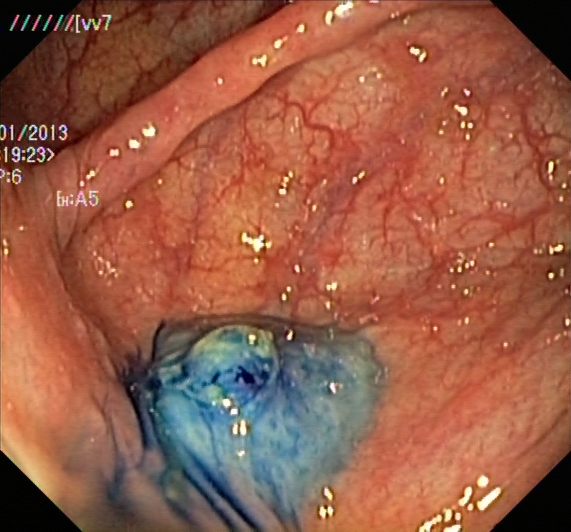This endoscopy frame of the lower GI tract shows dyed and lifted polyp (pre-resection).